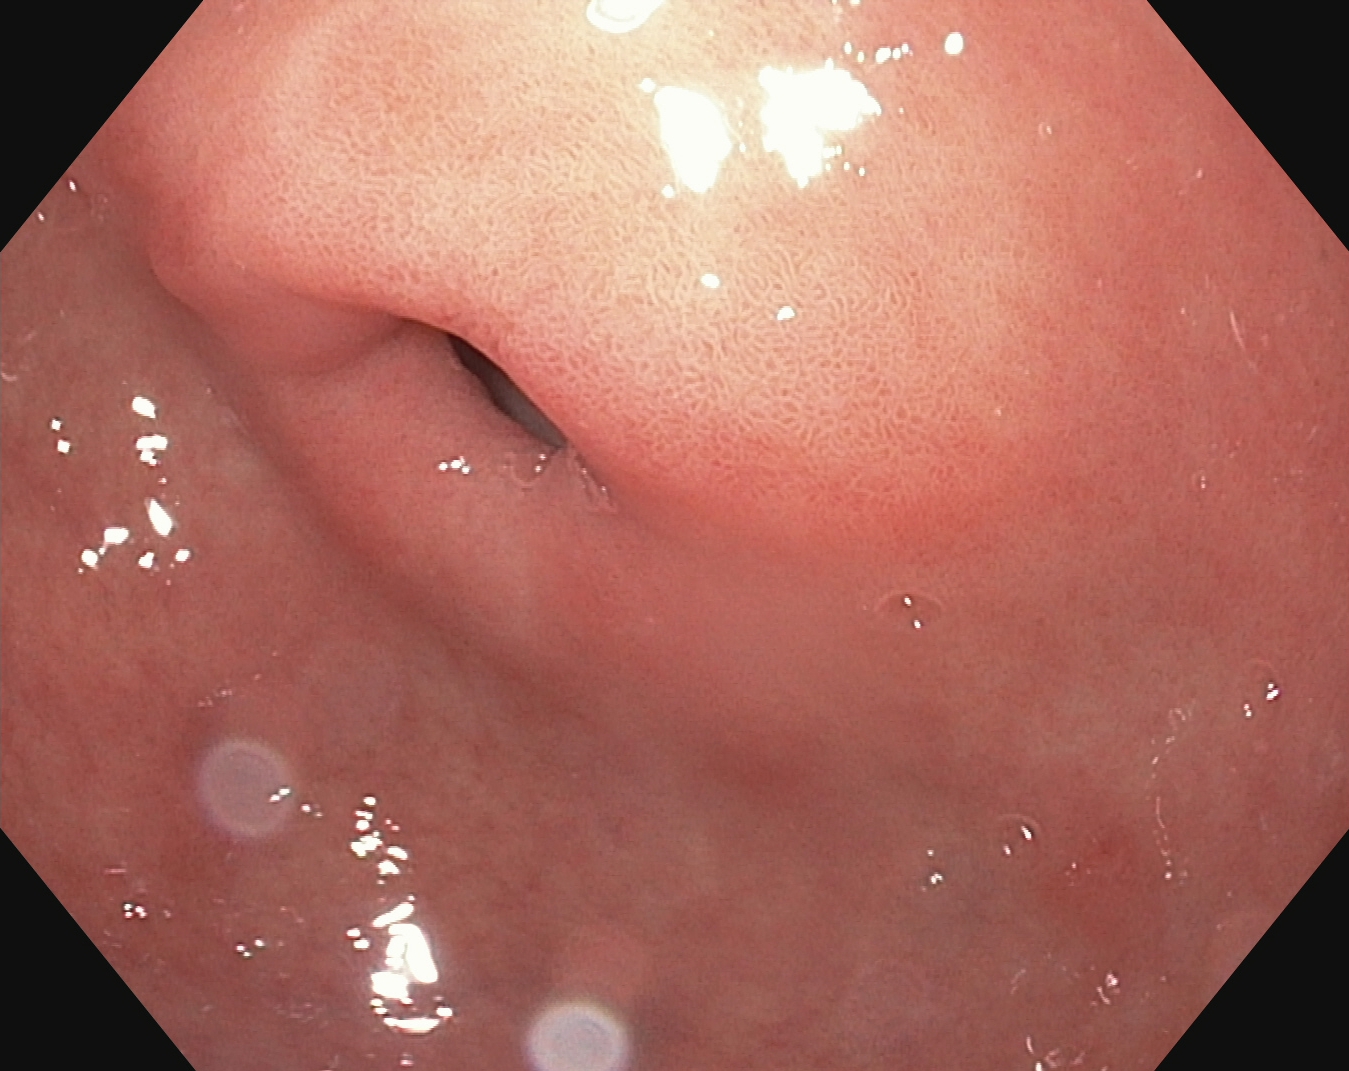This endoscopic image shows pylorus.